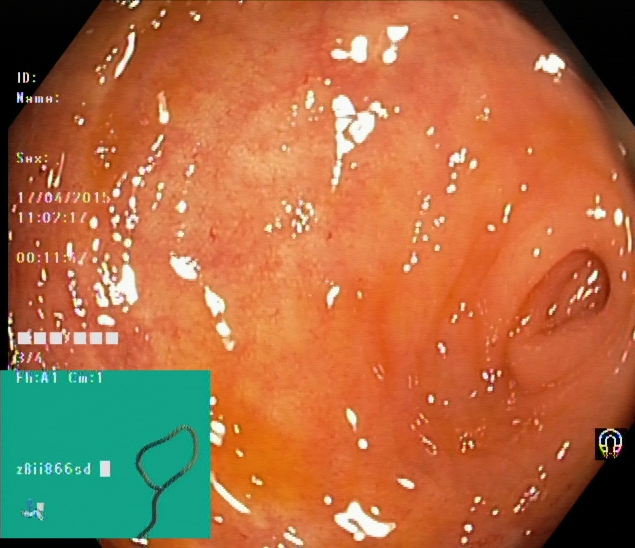Lower gastrointestinal endoscopy. Finding: cecum.